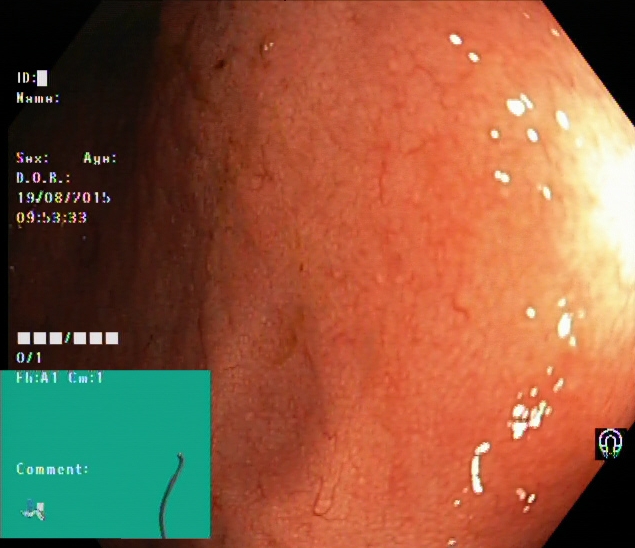Lower-GI endoscopy. Tract: lower GI tract. Finding: UC, Mayo endoscopic subscore 1.